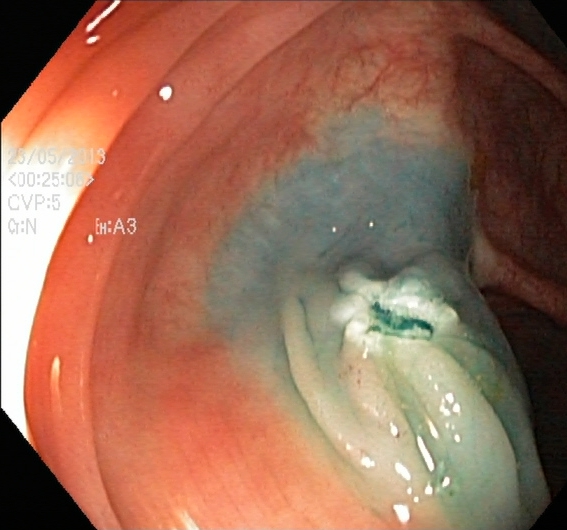PROCEDURE: Lower gastrointestinal endoscopy.
FINDINGS: Dyed resection margins (post-polypectomy).